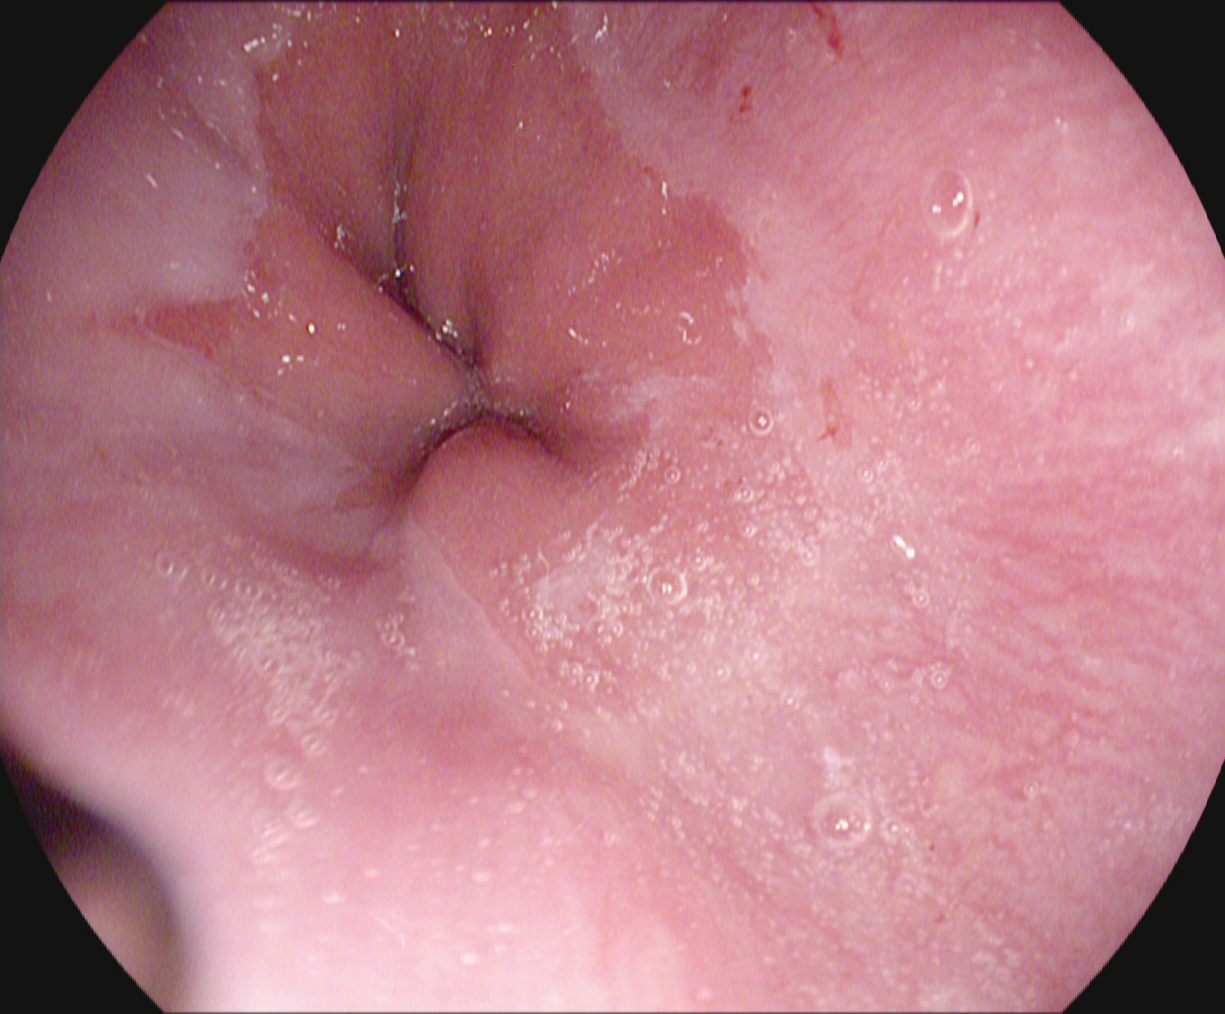modality: EGD
category: anatomical landmark
finding: Z-line (gastroesophageal junction)